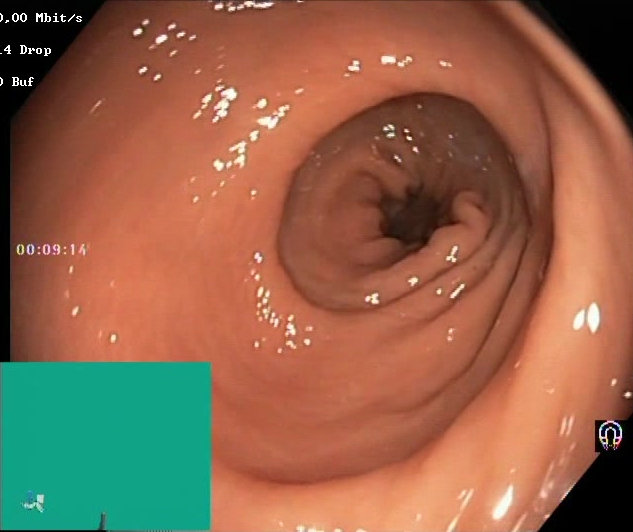PROCEDURE: Colonoscopy.
FINDINGS: BBPS score 2–3 (adequate preparation).